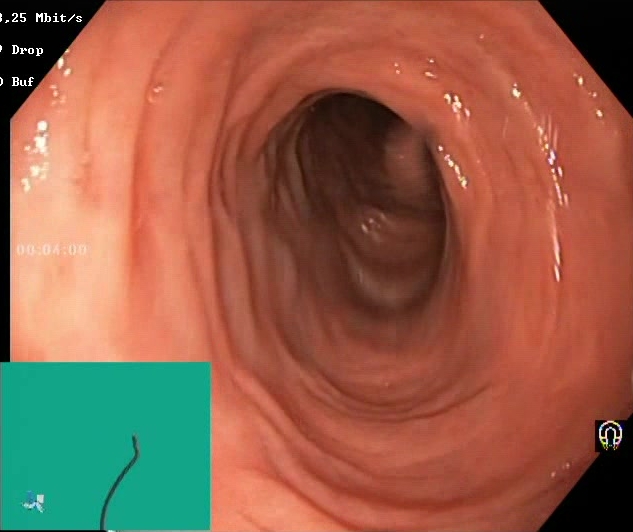Boston Bowel Preparation Scale score 2–3 (adequate preparation).